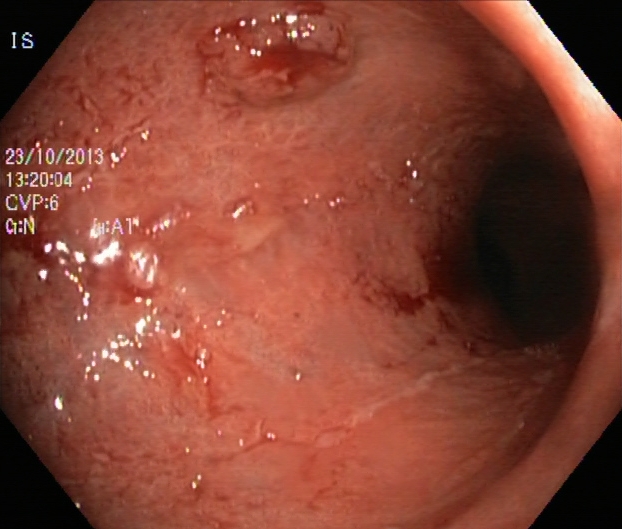modality: colonoscopy | tract: lower GI tract | finding: UC, Mayo endoscopic subscore 2